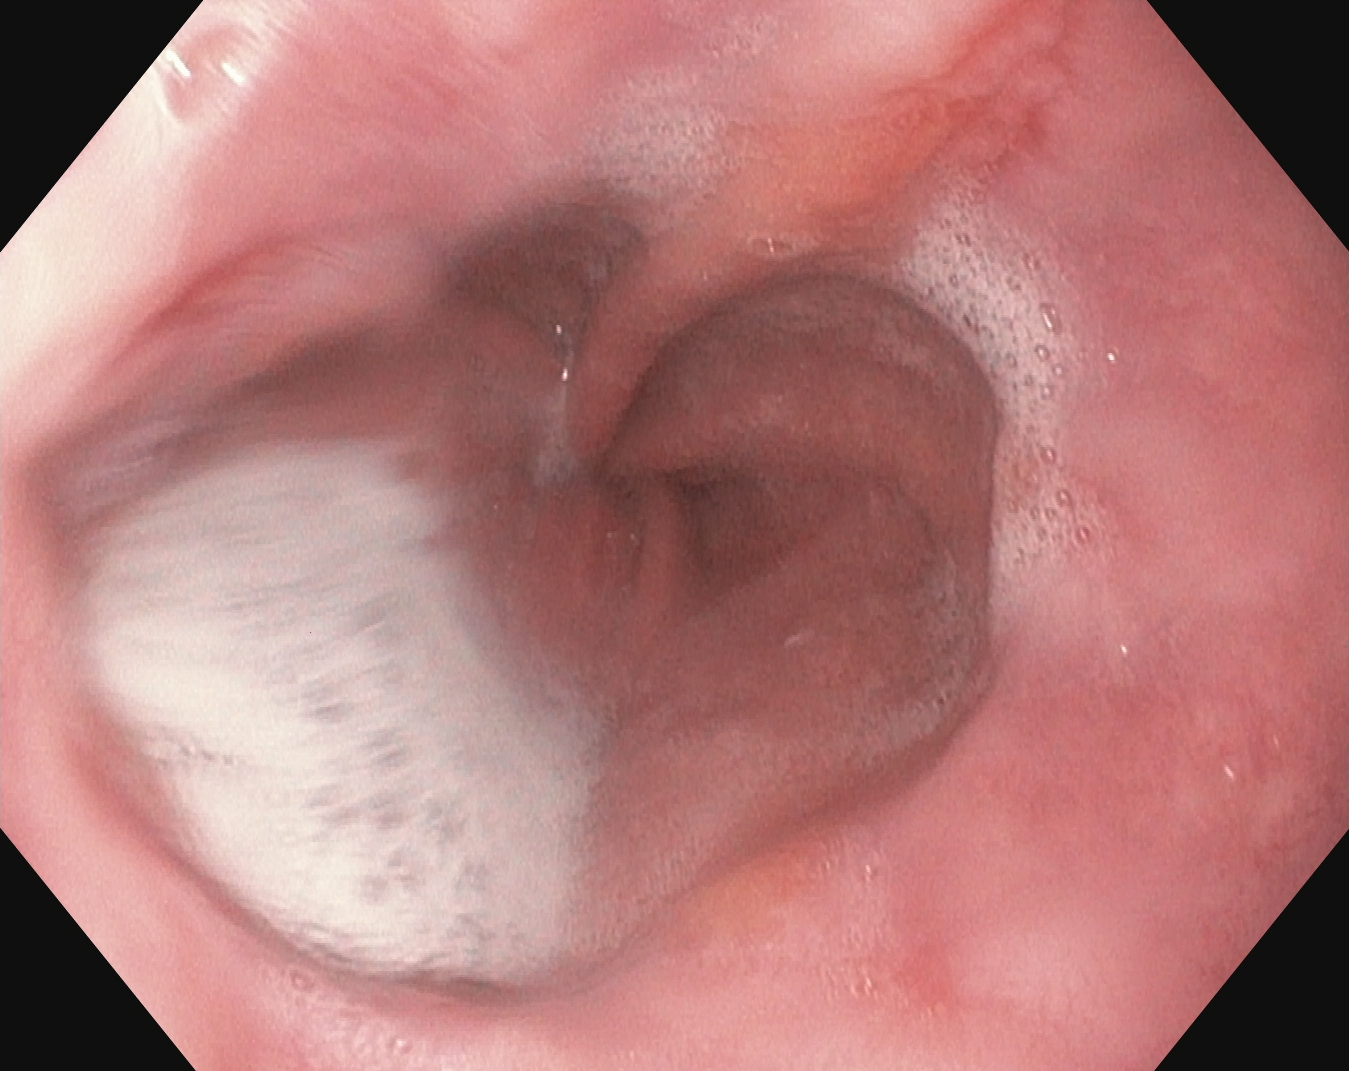Endoscopic frame of the upper GI tract showing reflux esophagitis, LA grade A.